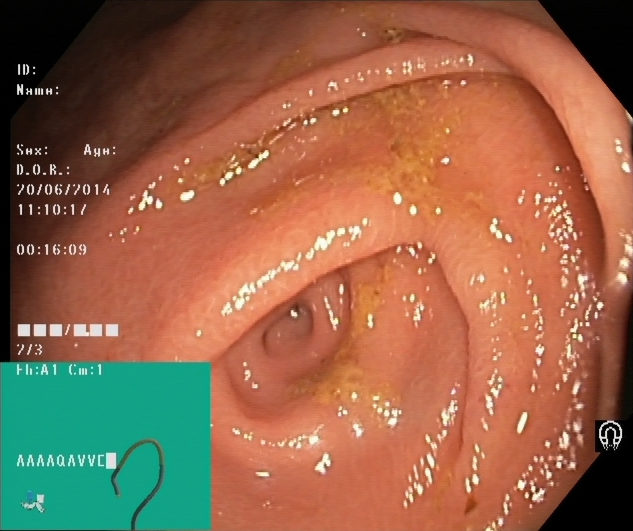PROCEDURE: Colonoscopy.
CATEGORY: Anatomical landmark.
FINDINGS: Cecum.